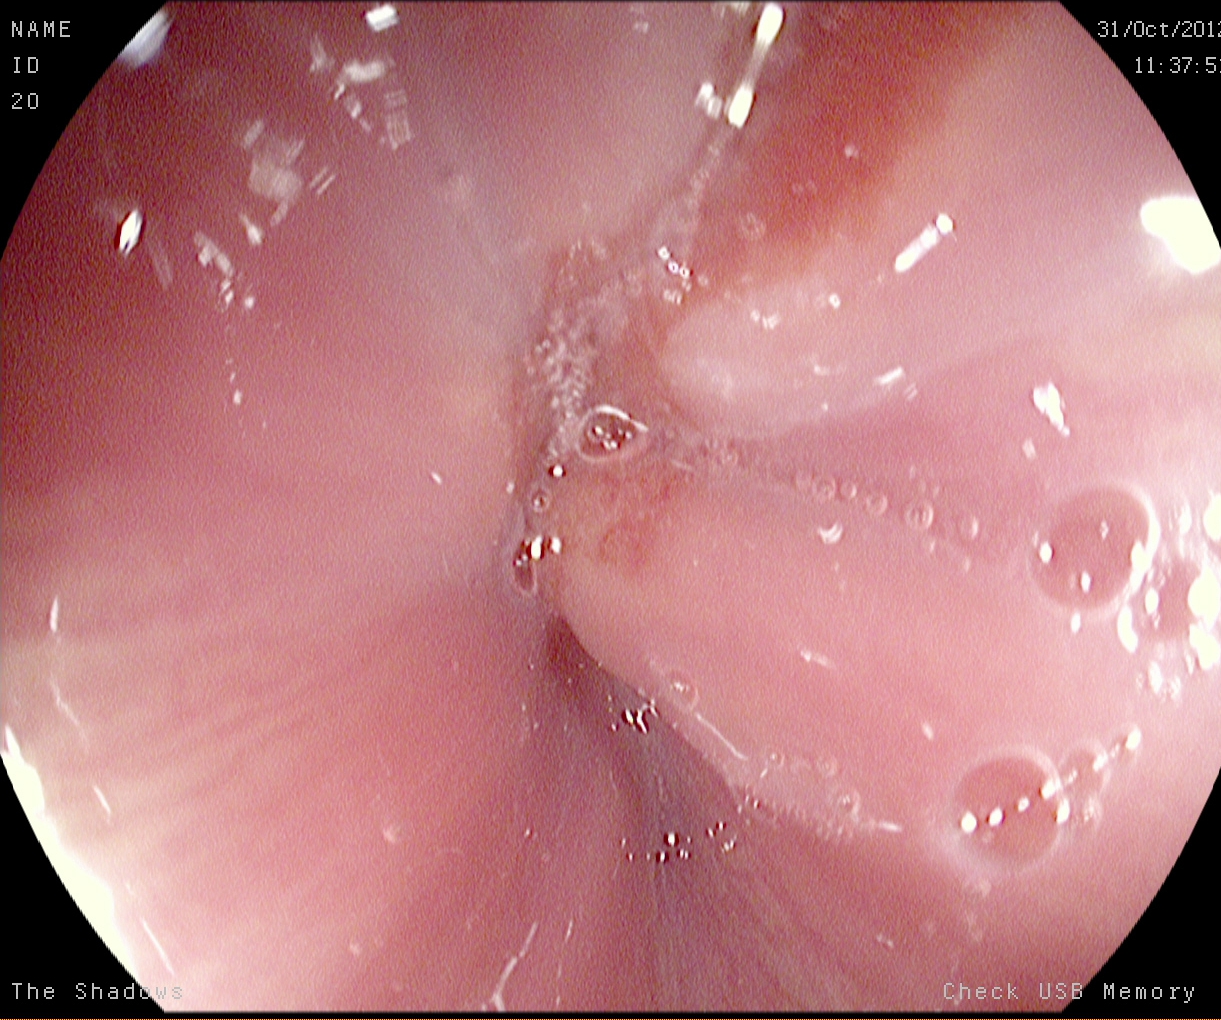Esophagogastroduodenoscopy. Tract: upper GI tract. Anatomical landmark. Finding: Z-line (gastroesophageal junction).